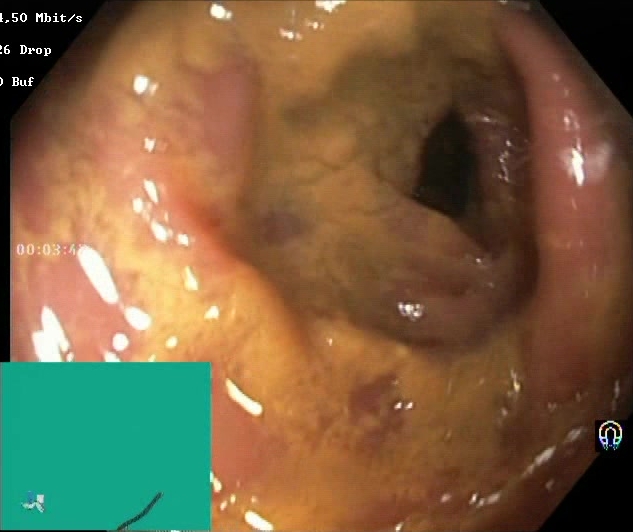PROCEDURE: Lower gastrointestinal endoscopy.
FINDINGS: BBPS score 0–1 (inadequate preparation).